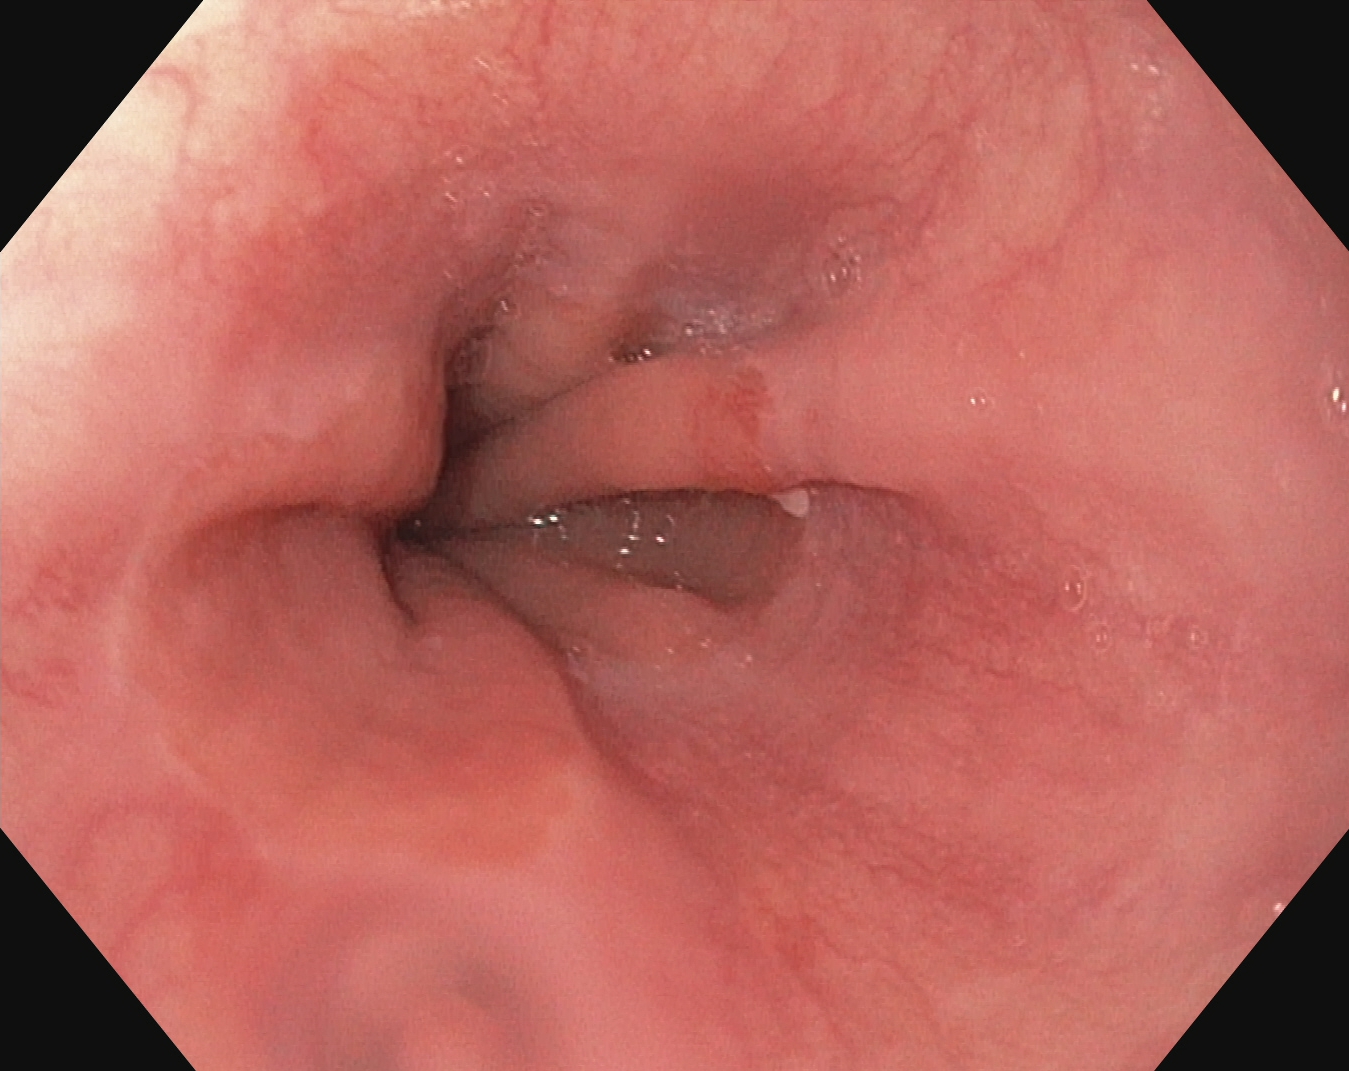modality: gastroscopy | tract: upper GI tract | category: anatomical landmark | finding: Z-line (gastroesophageal junction)